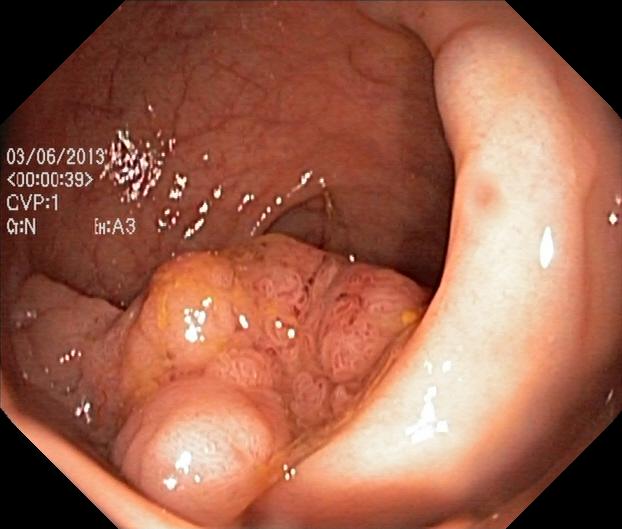colorectal polyp(s).